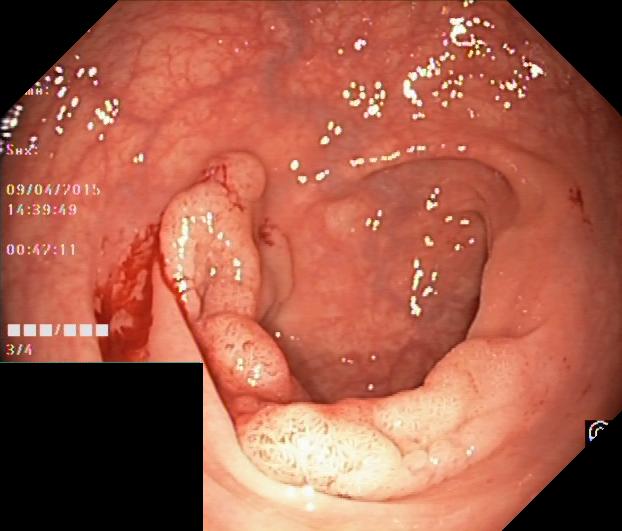modality: lower-GI endoscopy | tract: lower GI tract | finding: colorectal polyp(s)